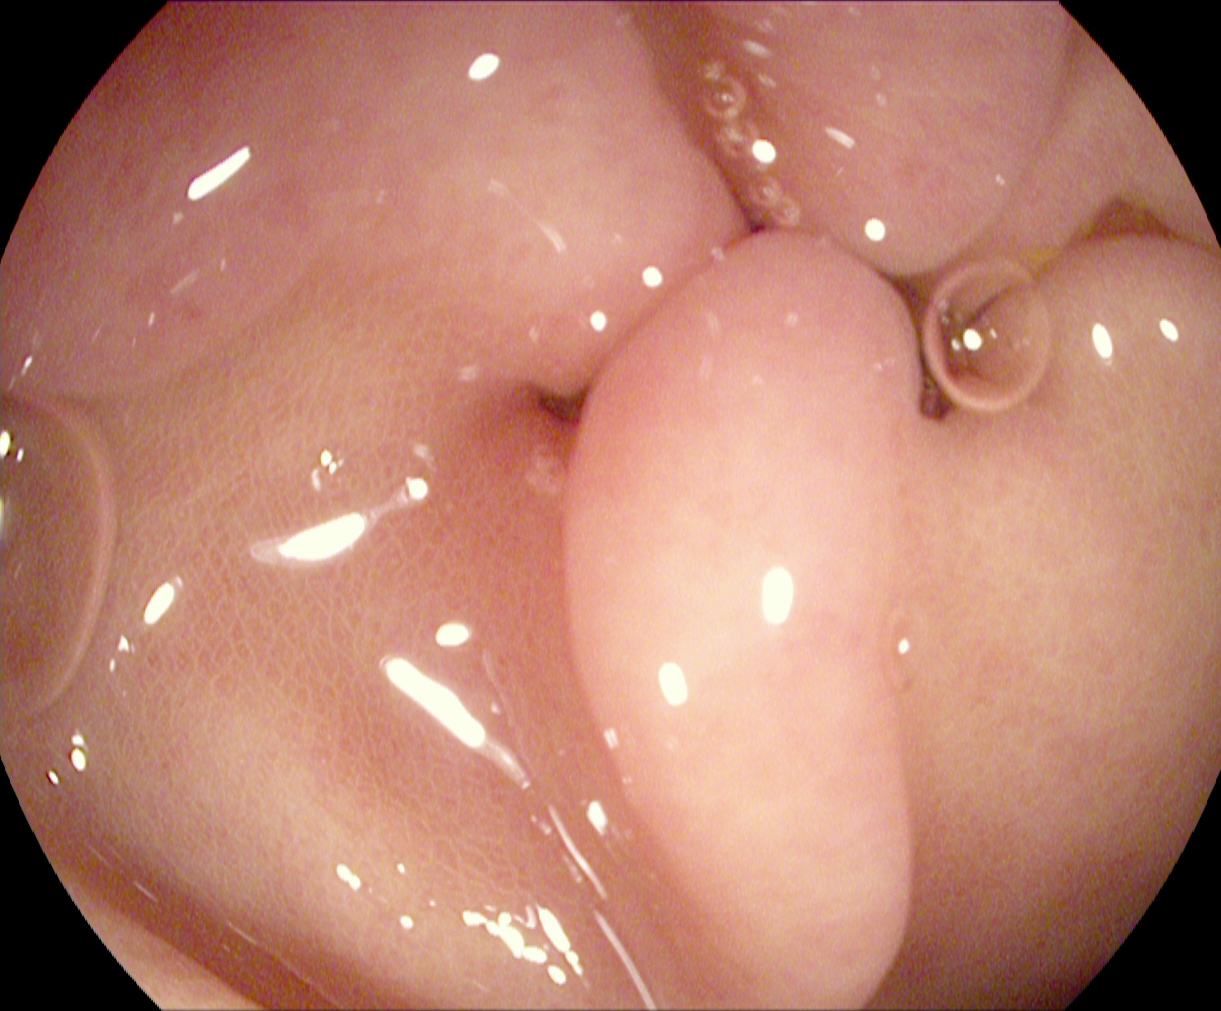pylorus.